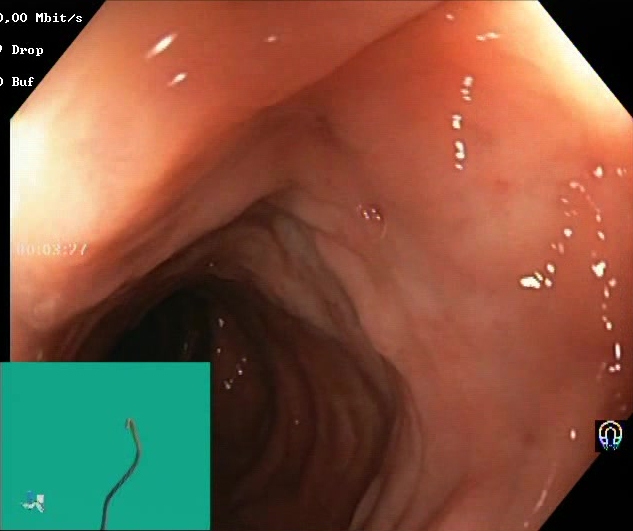Endoscopy image showing Boston Bowel Preparation Scale score 2–3 (adequate preparation).